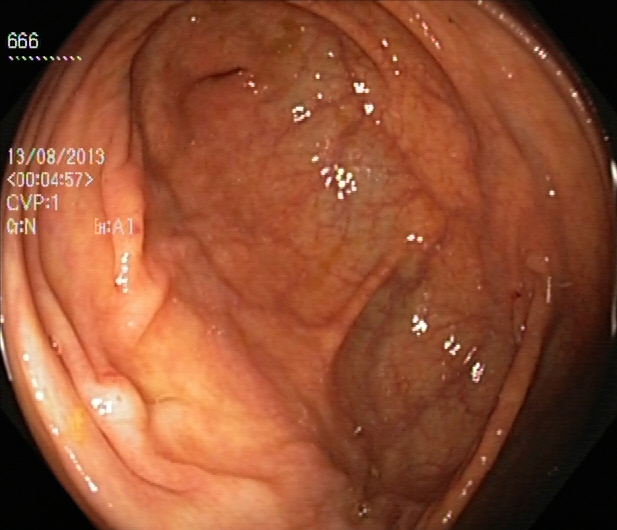cecum.